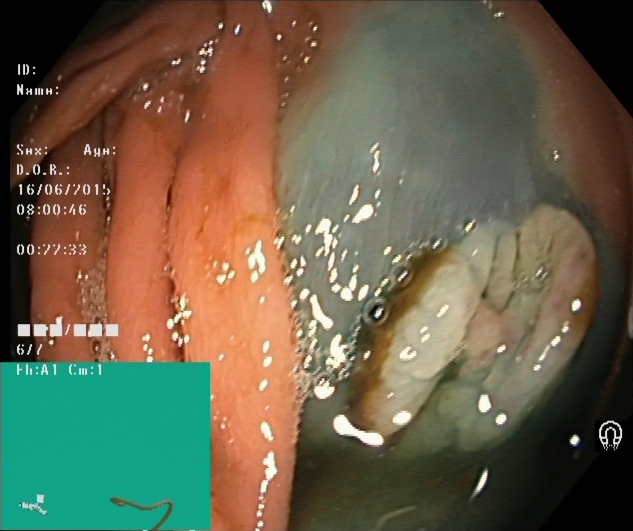This endoscopy frame shows dyed and lifted polyp (pre-resection).